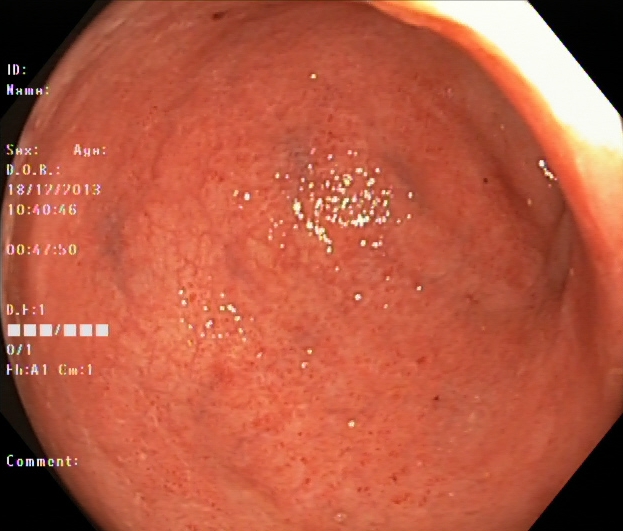modality: colonoscopy
tract: lower GI tract
finding: ulcerative colitis, Mayo endoscopic subscore 1